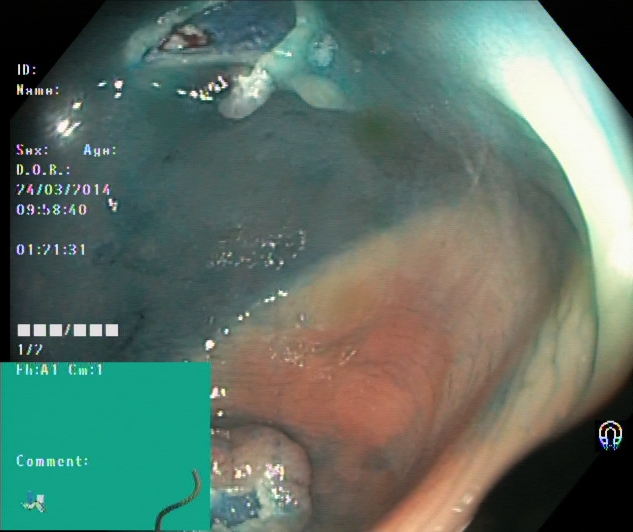Lower-GI endoscopy image of the lower GI tract showing dyed resection margins (post-polypectomy).